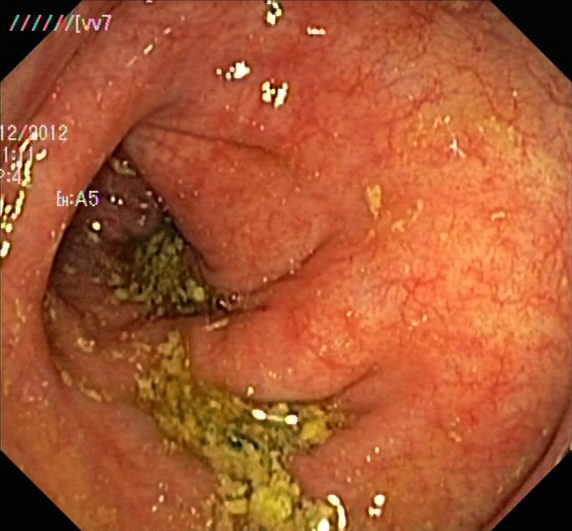Lower gastrointestinal endoscopy — ulcerative colitis, Mayo endoscopic subscore 1.